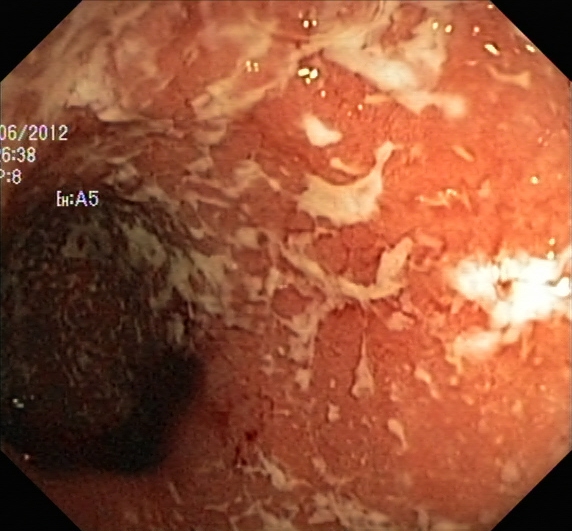UC, Mayo endoscopic subscore 2.